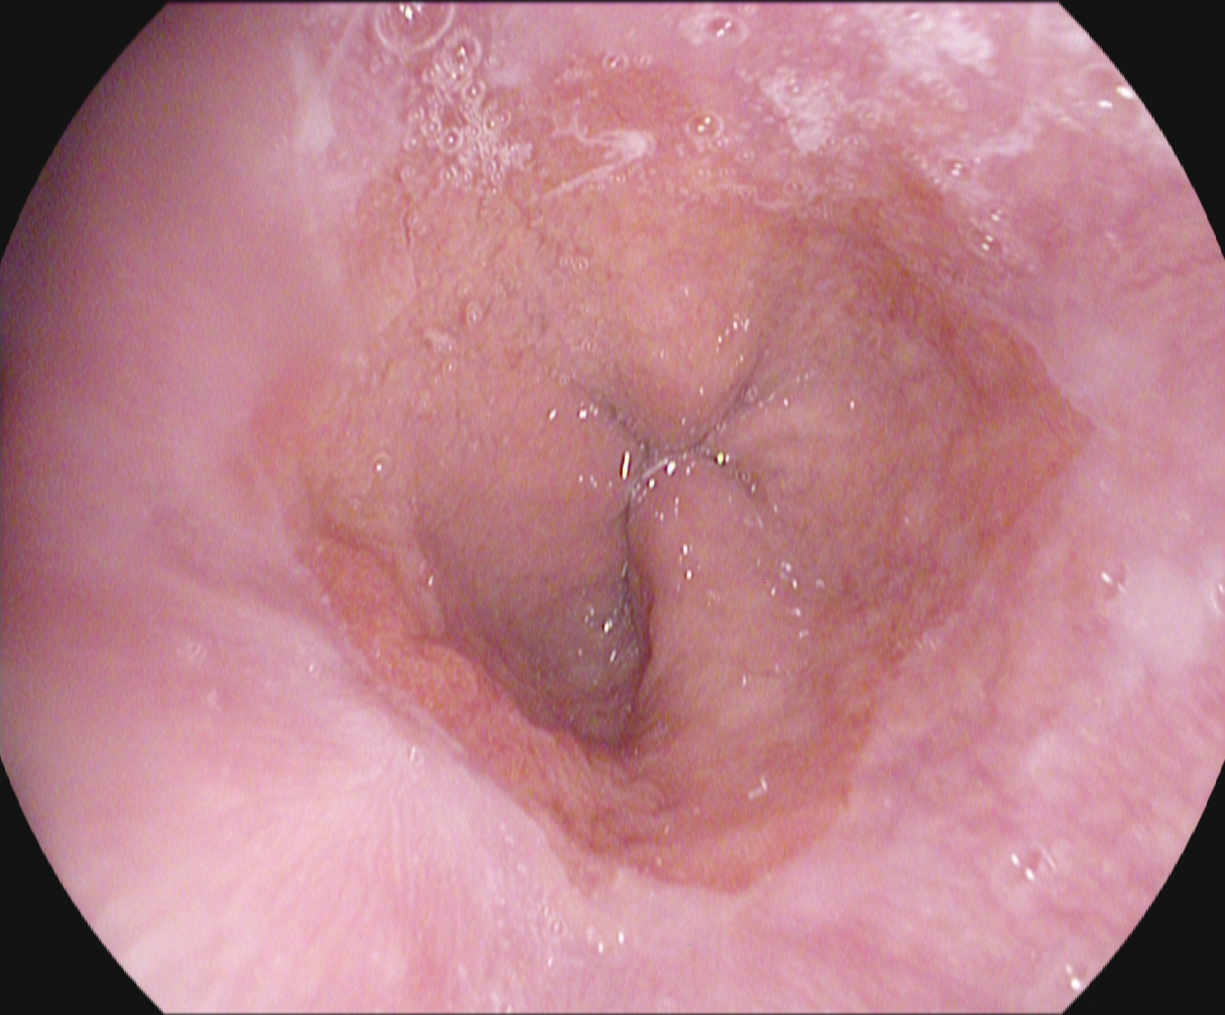{"modality": "upper-GI endoscopy", "finding": "Z-line (gastroesophageal junction)"}